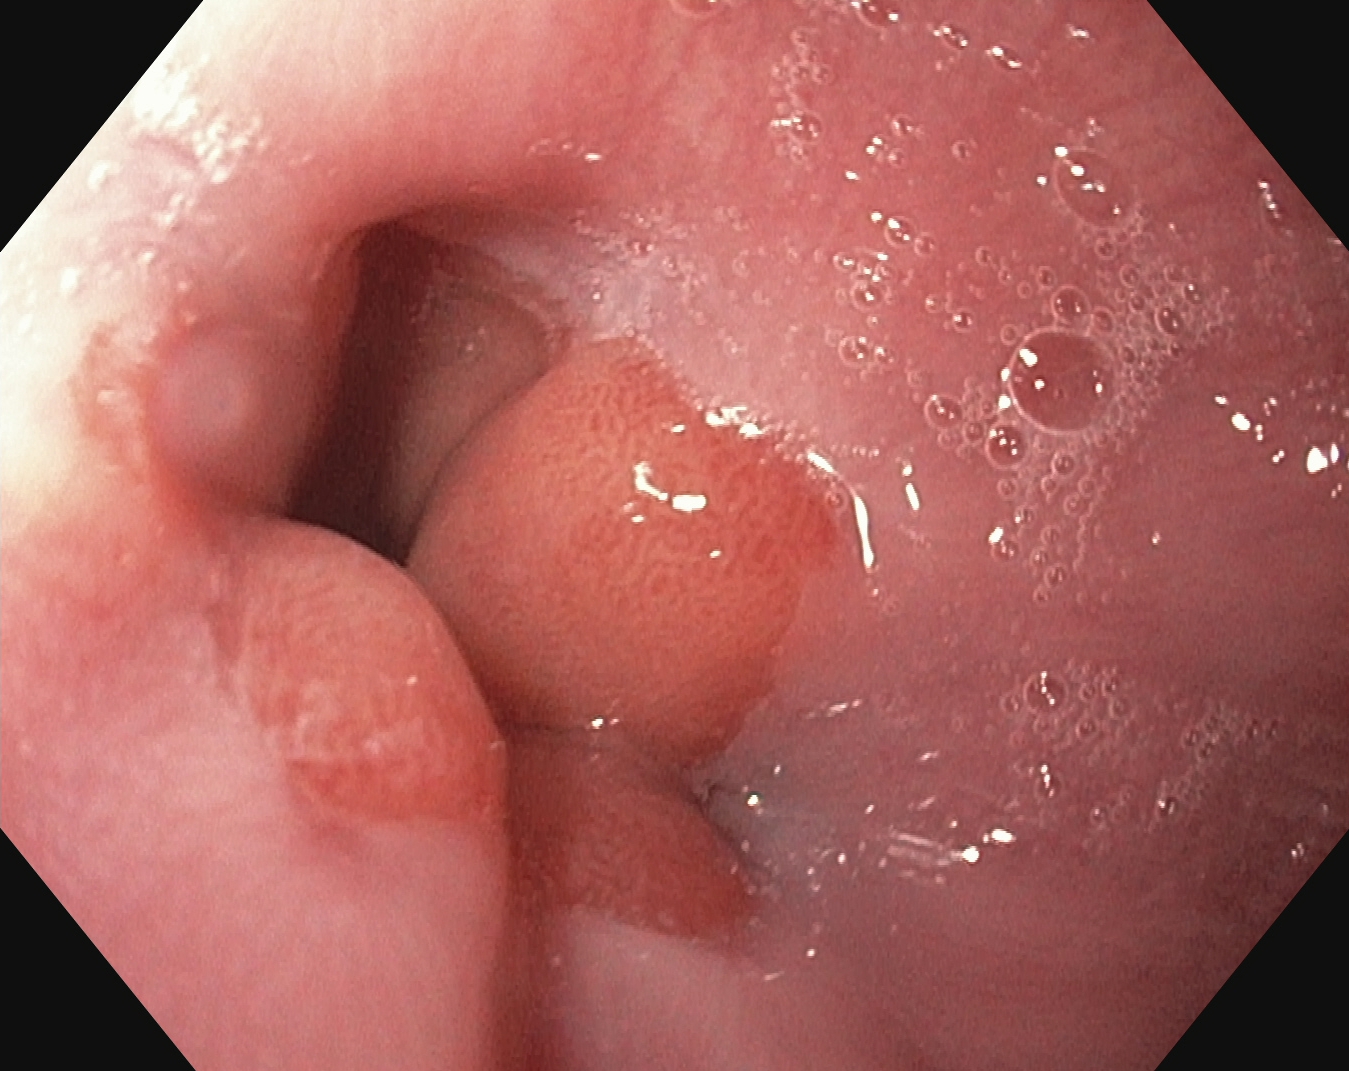Upper-GI endoscopy — Z-line (gastroesophageal junction).